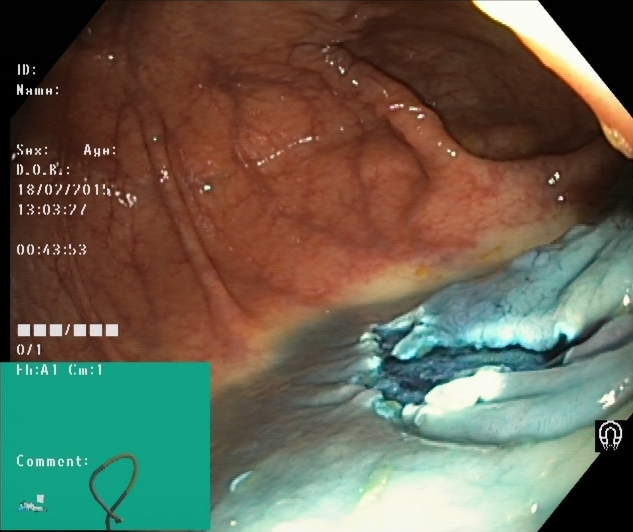Lower-GI endoscopy. Tract: lower GI tract. Finding: dyed resection margins (post-polypectomy).